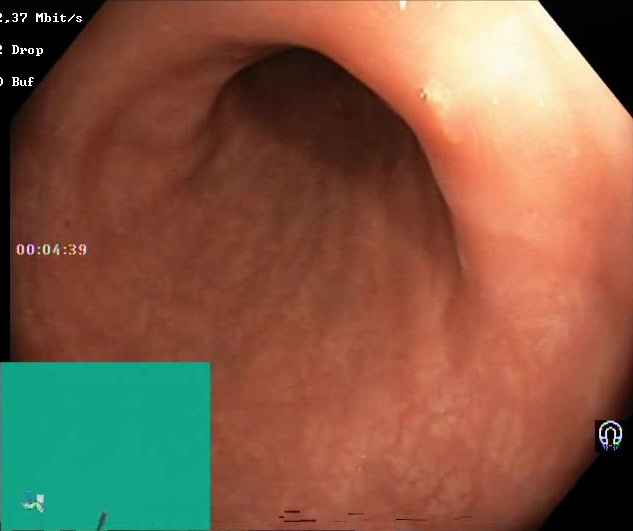BBPS score 2–3 (adequate preparation).